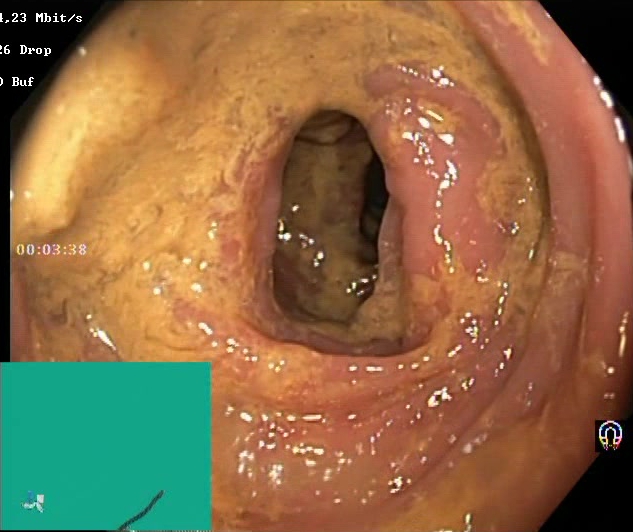Colonoscopy. Tract: lower GI tract. Finding: Boston Bowel Preparation Scale score 0–1 (inadequate preparation).